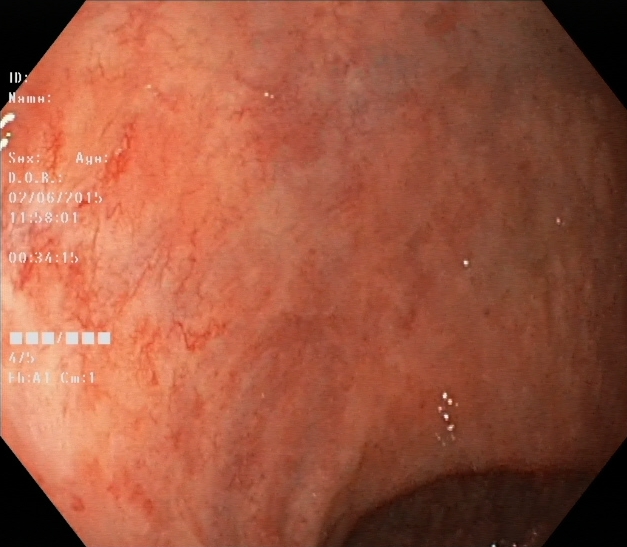{"modality": "lower gastrointestinal endoscopy", "category": "pathological finding", "finding": "ulcerative colitis, Mayo endoscopic subscore 1"}